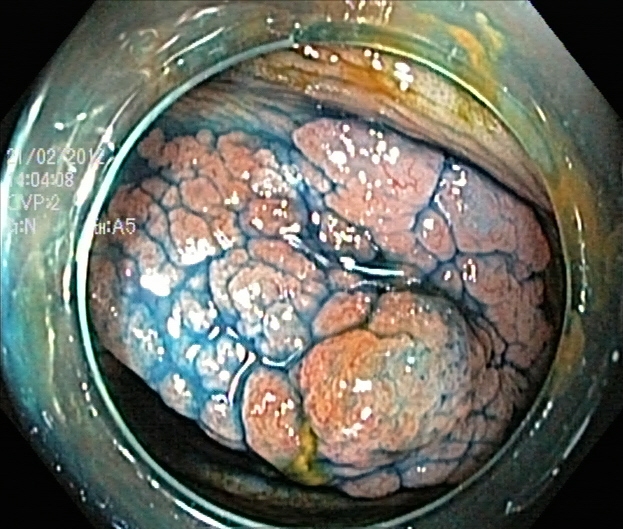Gastrointestinal endoscopy image of the lower GI tract showing dyed and lifted polyp (pre-resection).